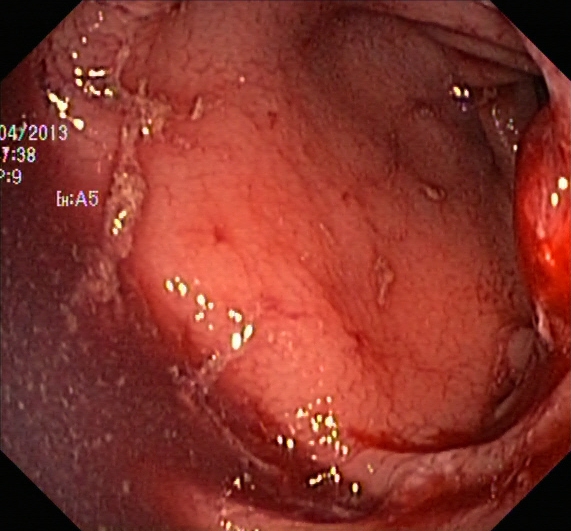Colonoscopy. Tract: lower GI tract. Finding: ulcerative colitis, Mayo endoscopic subscore 3.